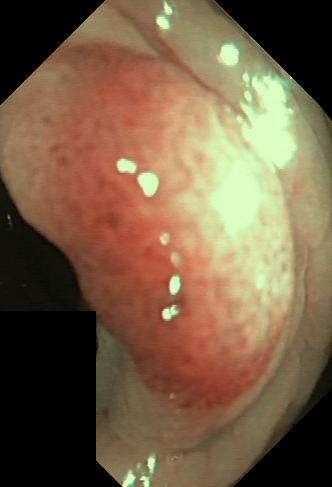modality: lower gastrointestinal endoscopy
category: pathological finding
finding: colorectal polyp(s)